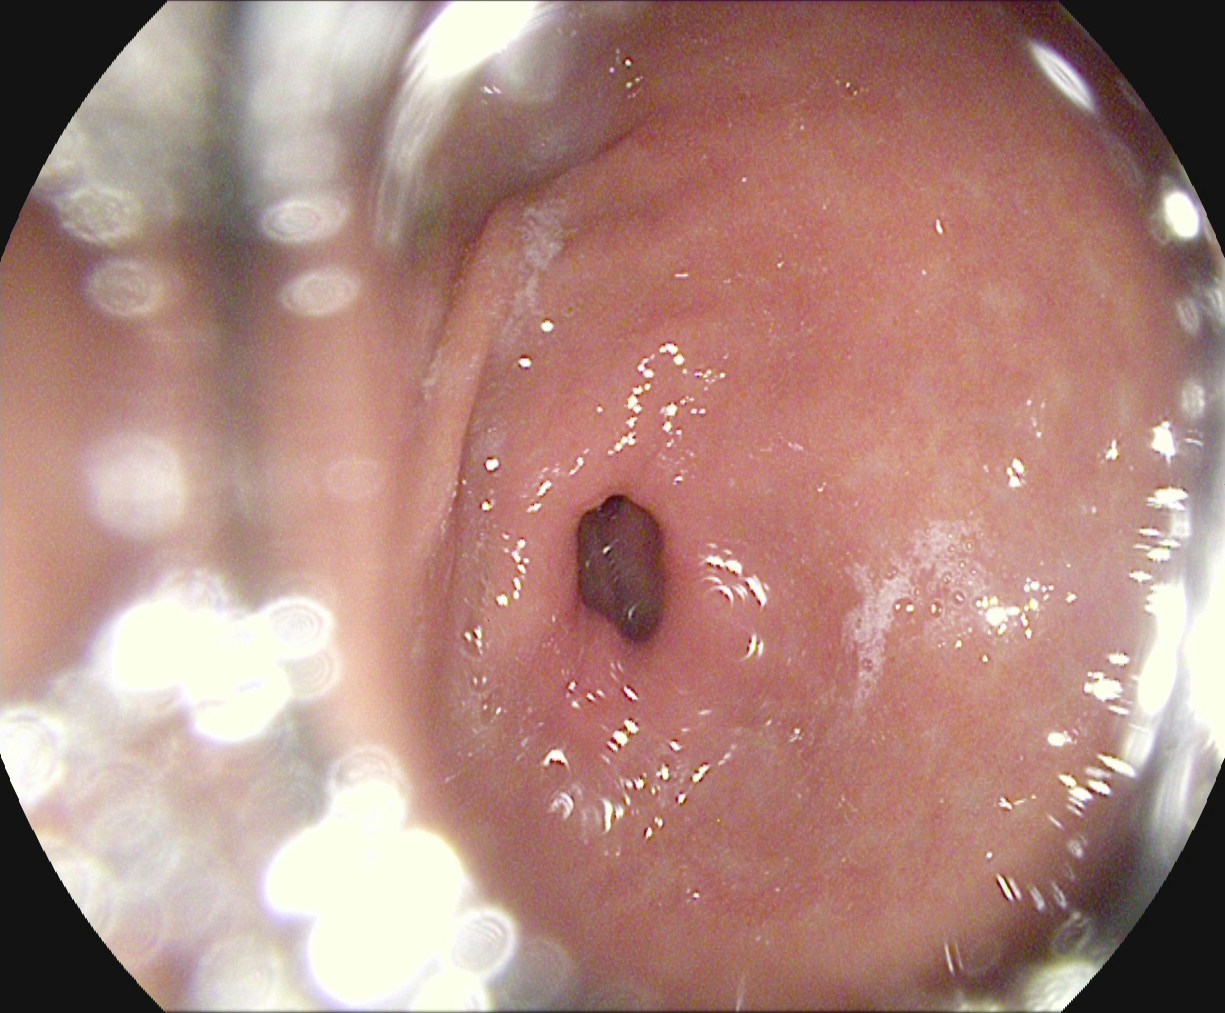{"modality": "upper-GI endoscopy", "finding": "pylorus"}